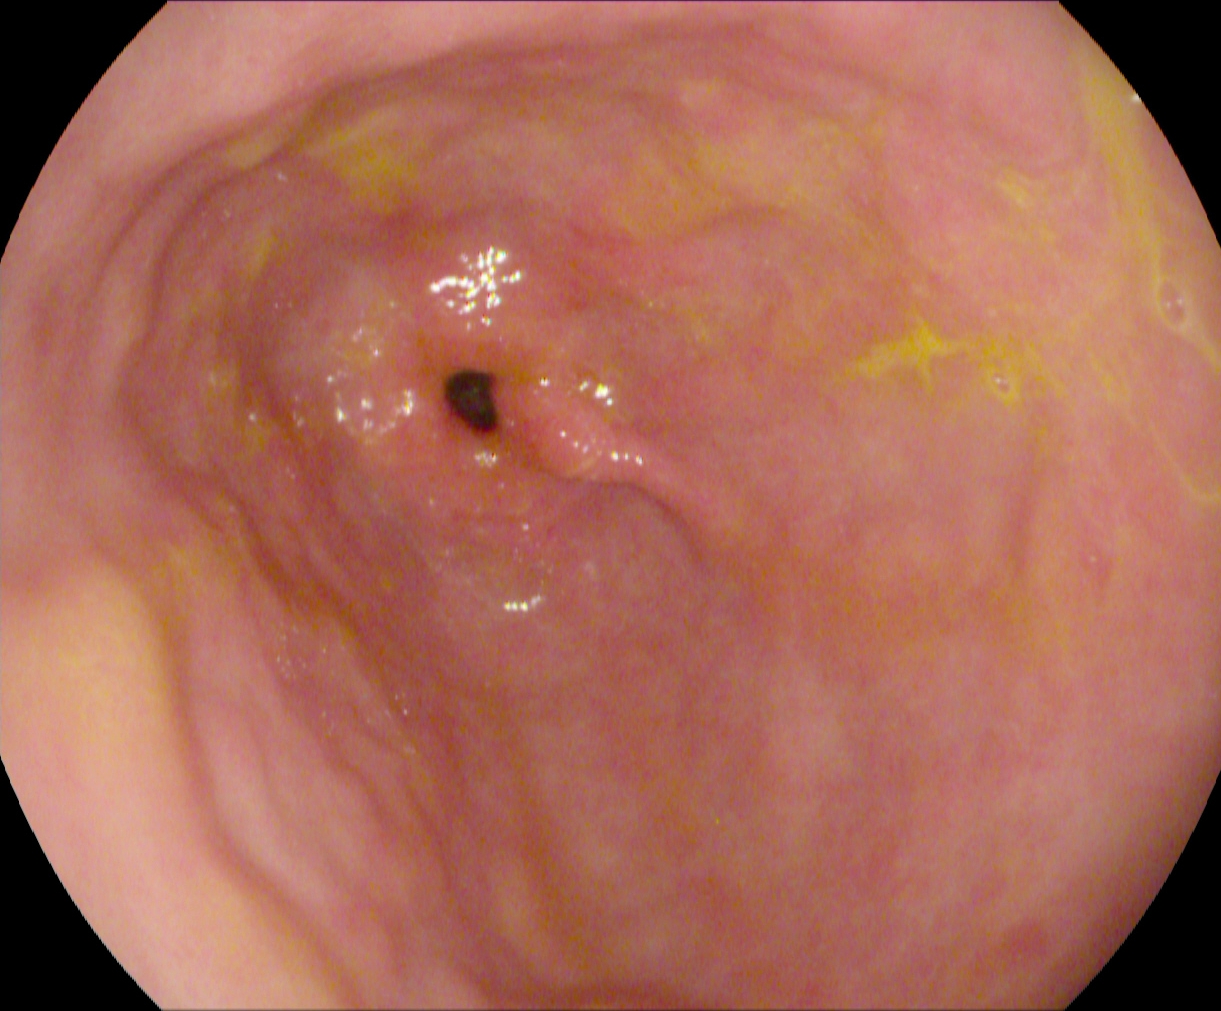Gastroscopy. Tract: upper GI tract. Anatomical landmark. Finding: pylorus.